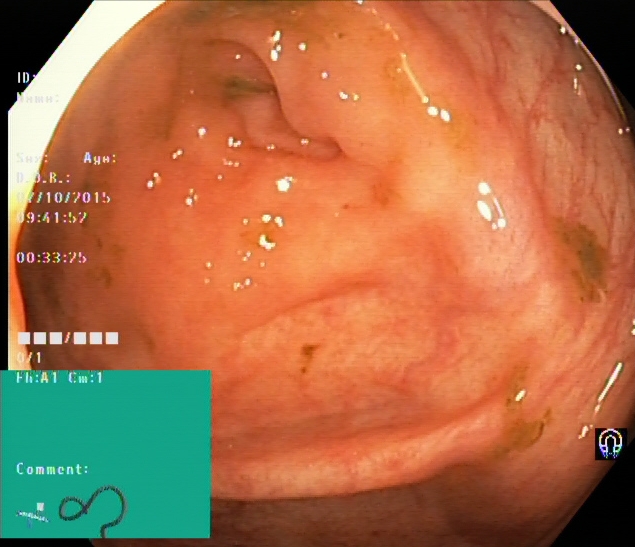Lower-GI endoscopy — cecum.